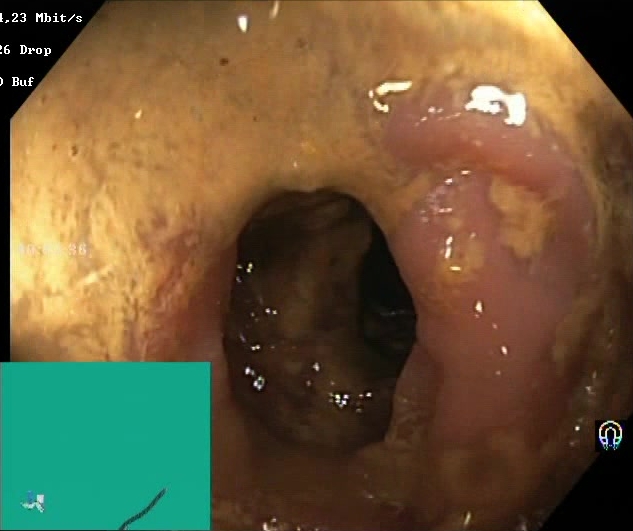Lower gastrointestinal endoscopy — Boston Bowel Preparation Scale score 0–1 (inadequate preparation).